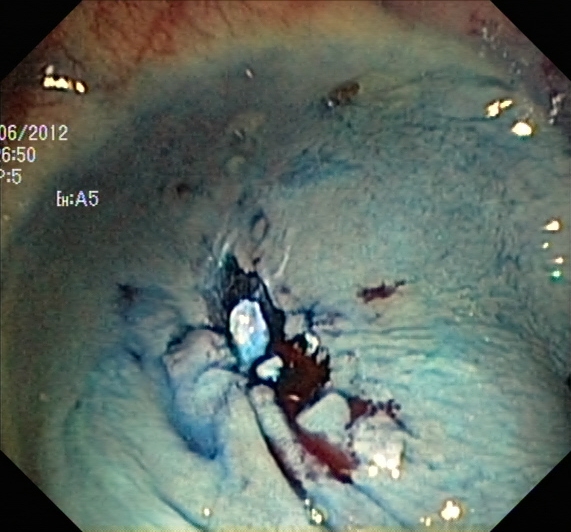Dyed resection margins (post-polypectomy).